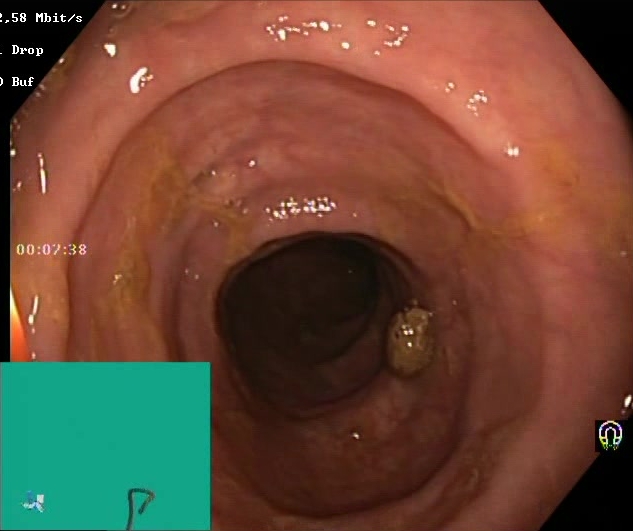Boston Bowel Preparation Scale score 2–3 (adequate preparation).